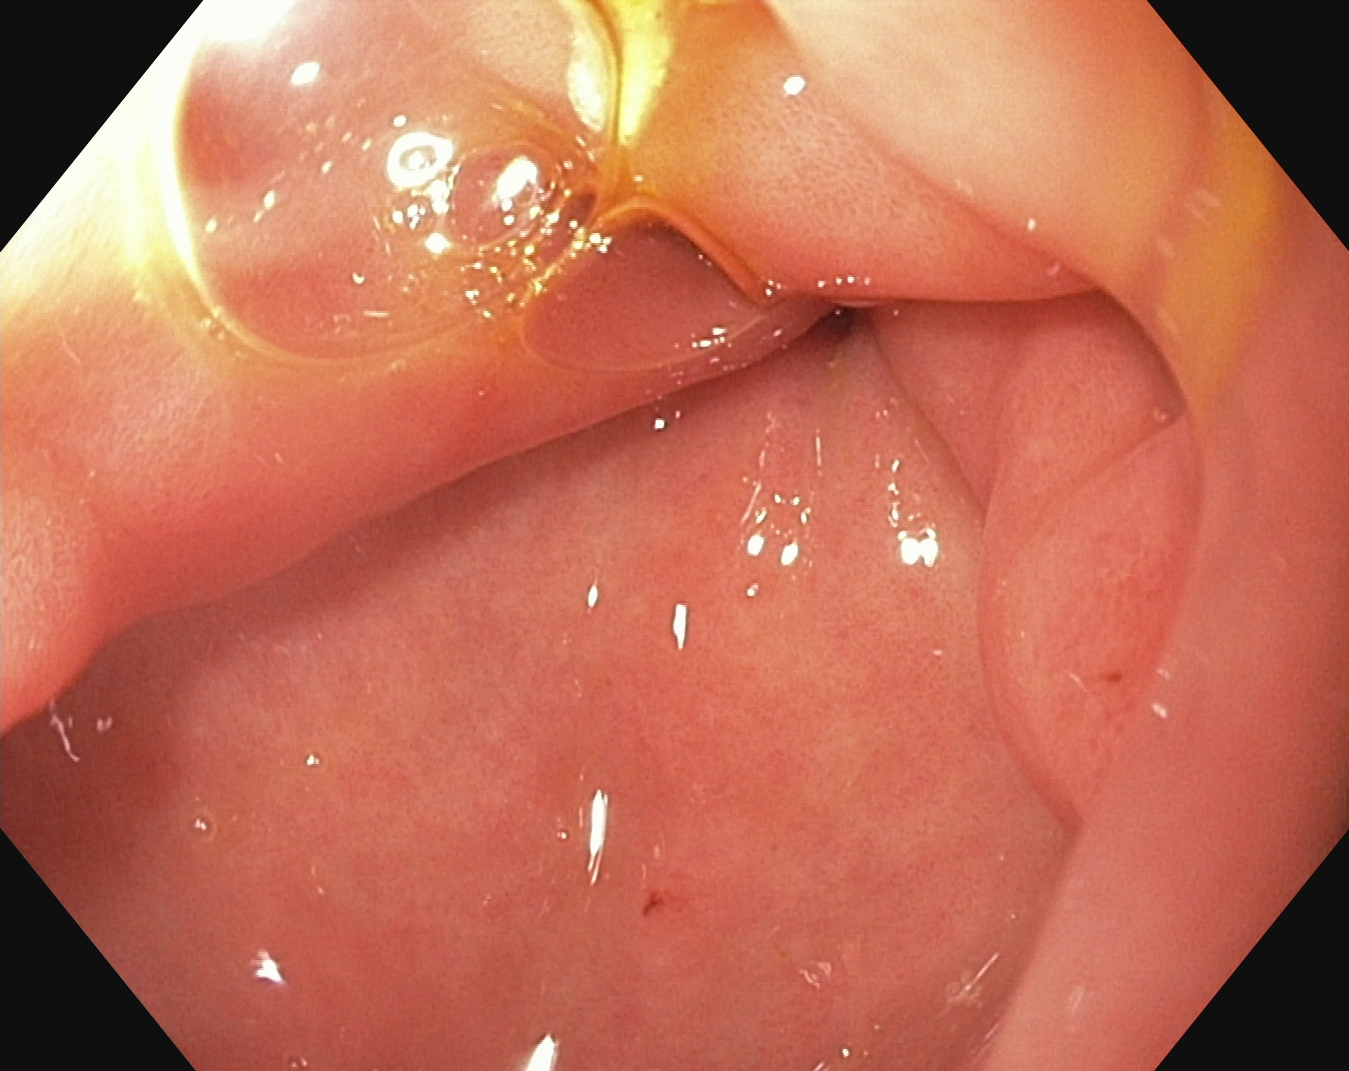EGD — pylorus.